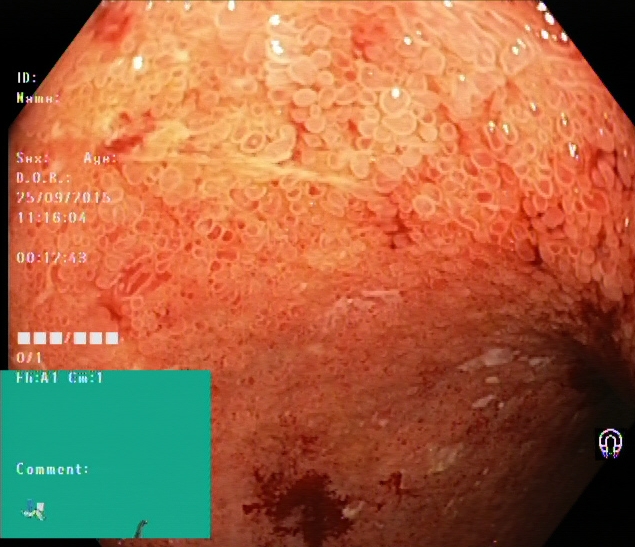modality: colonoscopy | category: pathological finding | finding: ulcerative colitis, Mayo endoscopic subscore 3